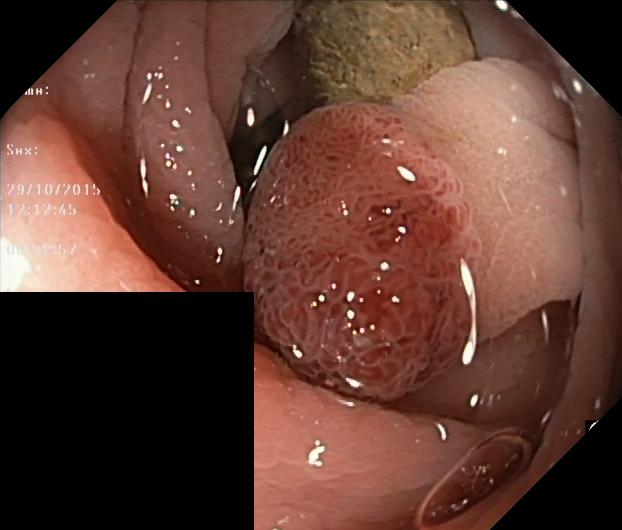PROCEDURE: Lower-GI endoscopy.
FINDINGS: Colorectal polyp(s).